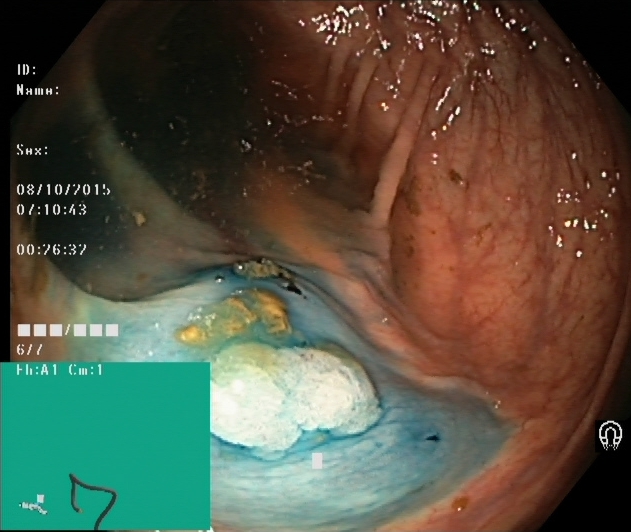PROCEDURE: Lower-GI endoscopy.
FINDINGS: Dyed and lifted polyp (pre-resection).